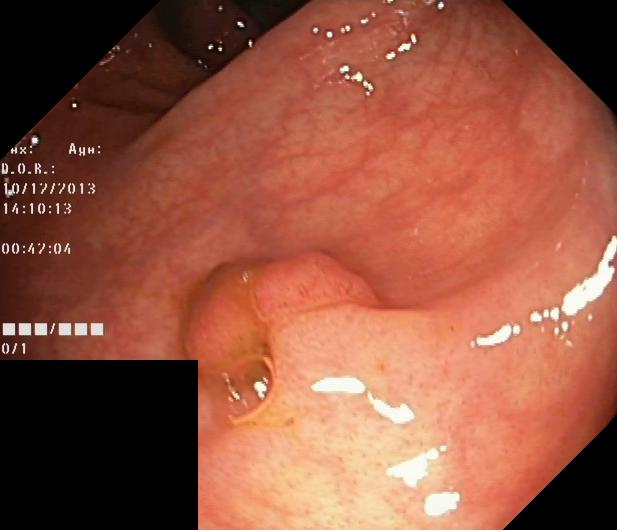This endoscopy frame of the lower GI tract shows colorectal polyp(s).